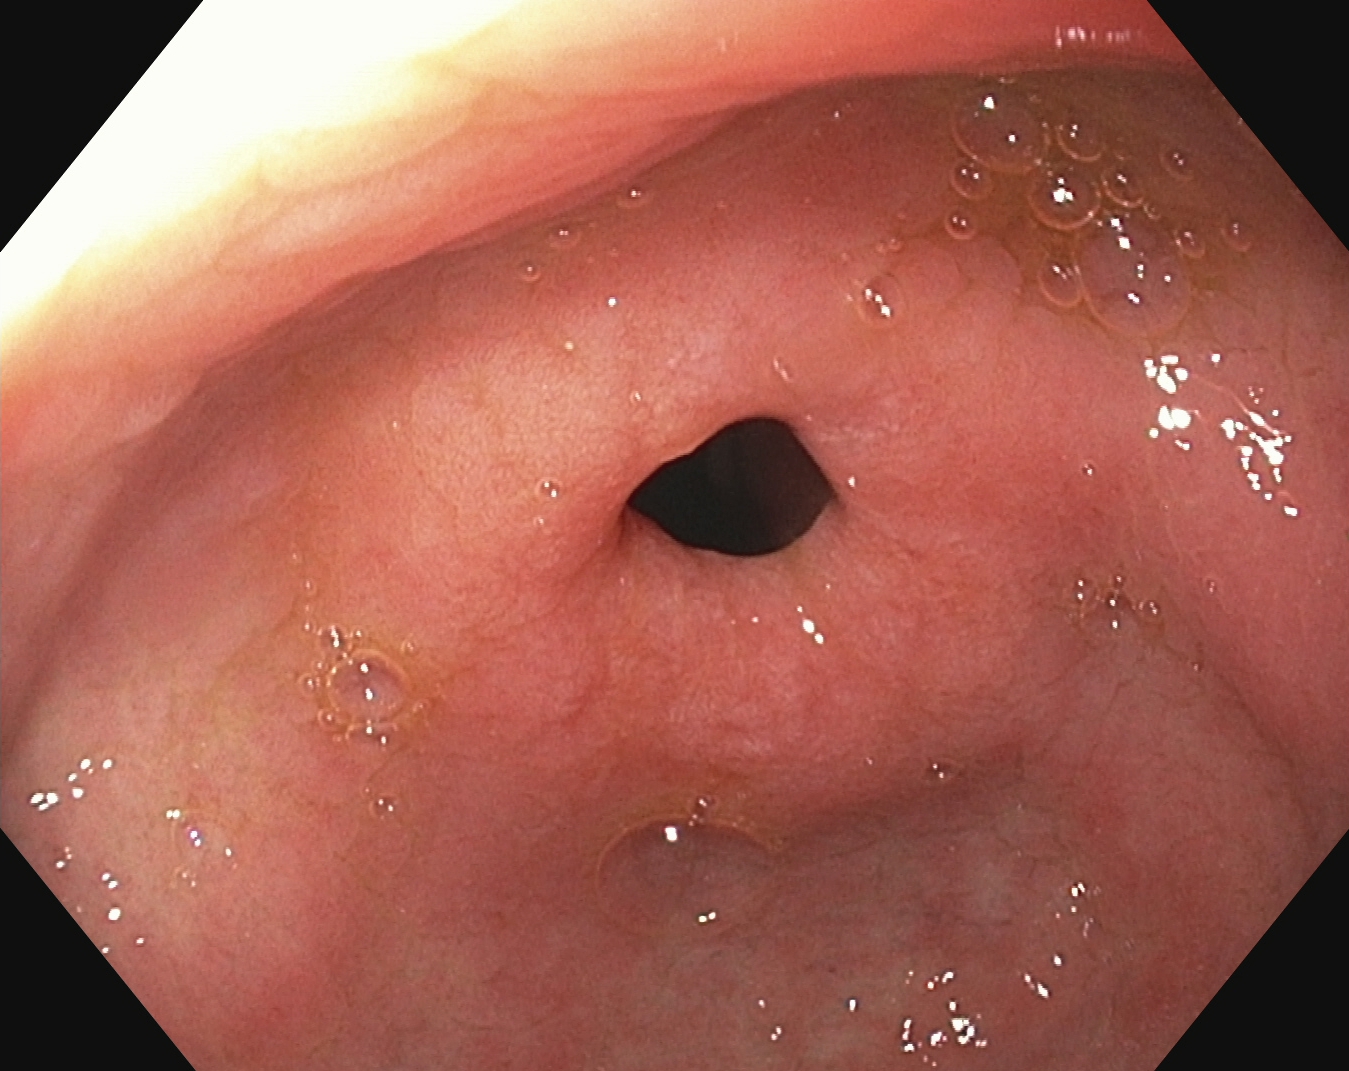Pylorus.